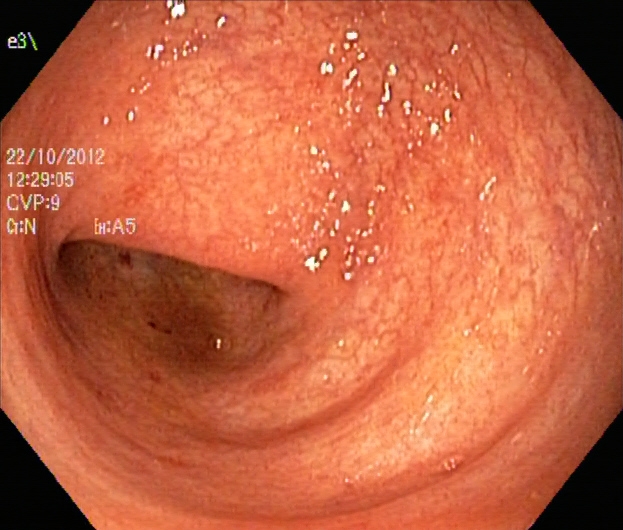Lower gastrointestinal endoscopy — UC, Mayo endoscopic subscore 1.